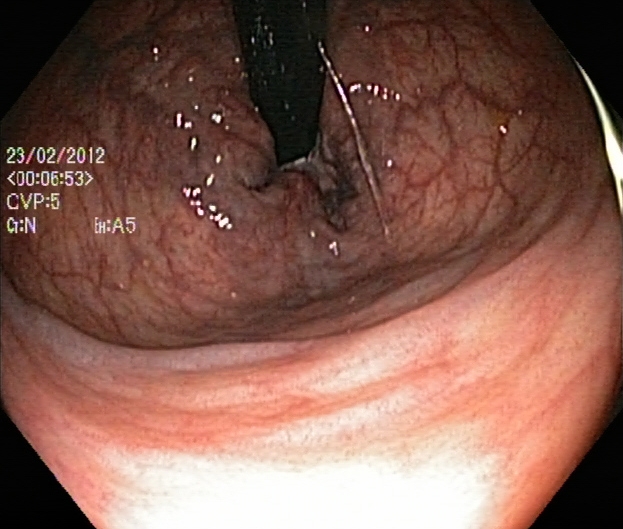PROCEDURE: Lower-GI endoscopy.
CATEGORY: Anatomical landmark.
FINDINGS: Rectum in retroflexion.